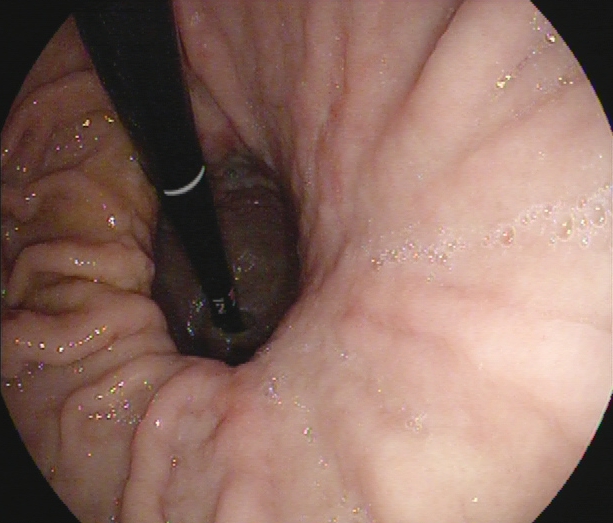PROCEDURE: Upper-GI endoscopy.
CATEGORY: Anatomical landmark.
FINDINGS: Stomach in retroflexion.